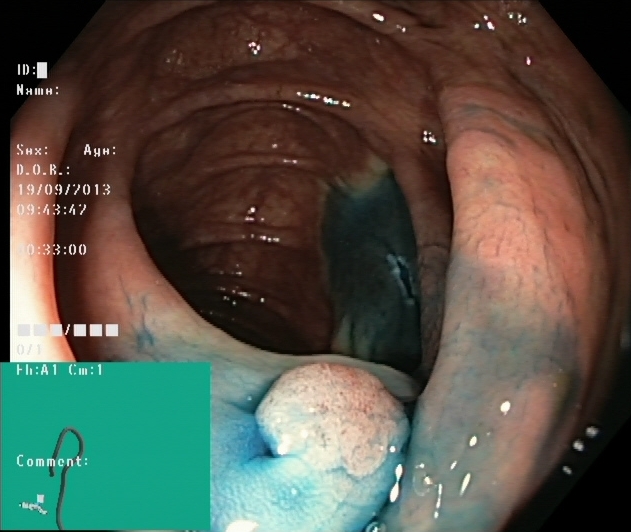{"modality": "lower-GI endoscopy", "tract": "lower GI tract", "finding": "dyed and lifted polyp (pre-resection)"}